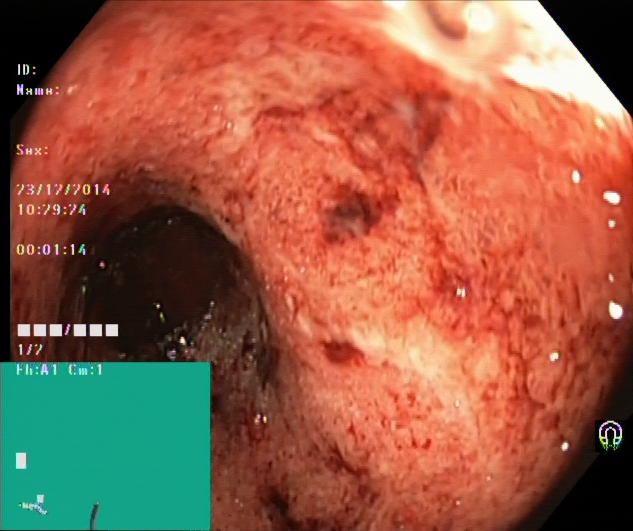This endoscopy frame of the lower GI tract shows ulcerative colitis, Mayo endoscopic subscore 3.